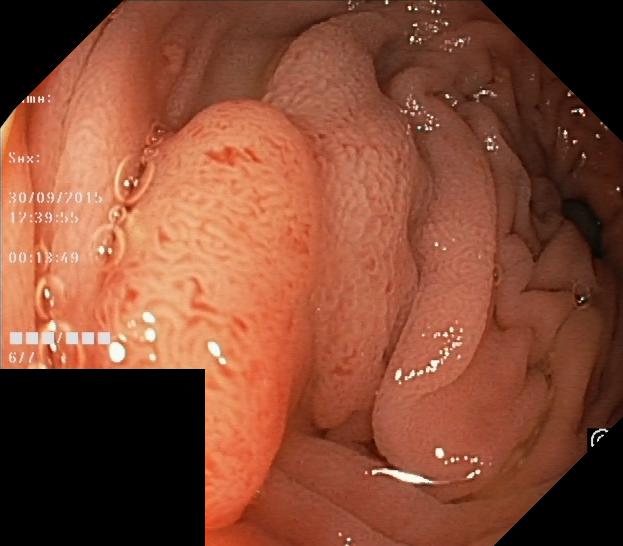modality: lower gastrointestinal endoscopy
tract: lower GI tract
finding: colorectal polyp(s)